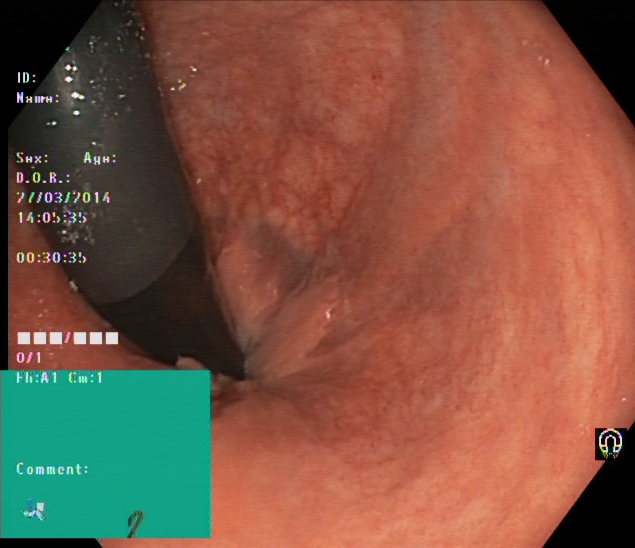{"modality": "colonoscopy", "finding": "rectum in retroflexion"}